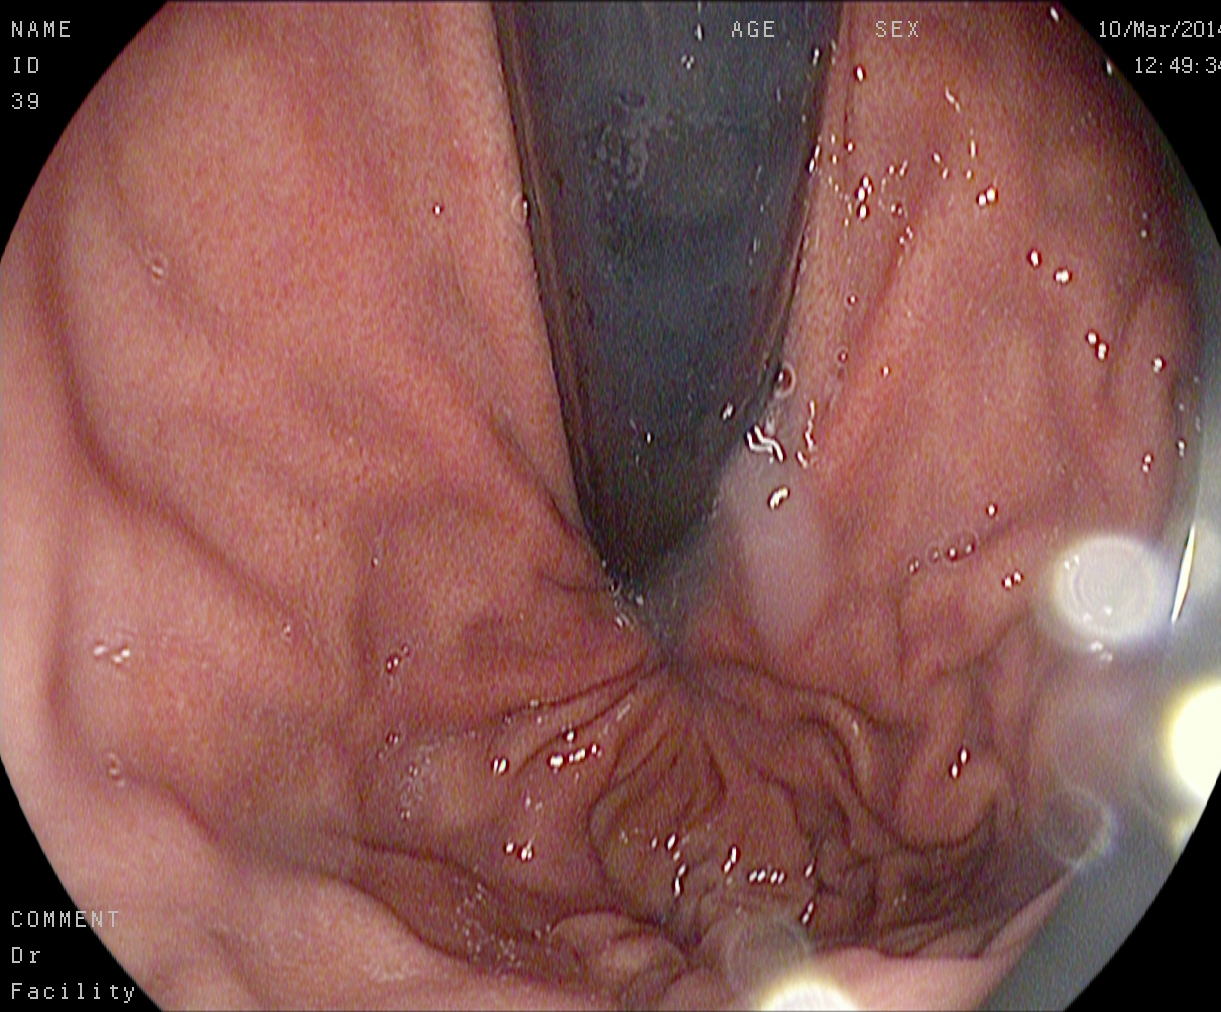This endoscopy frame of the upper GI tract shows stomach in retroflexion.